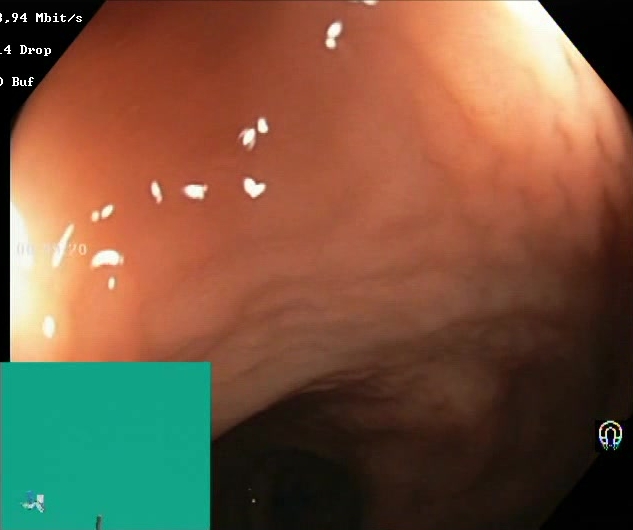BBPS score 2–3 (adequate preparation).